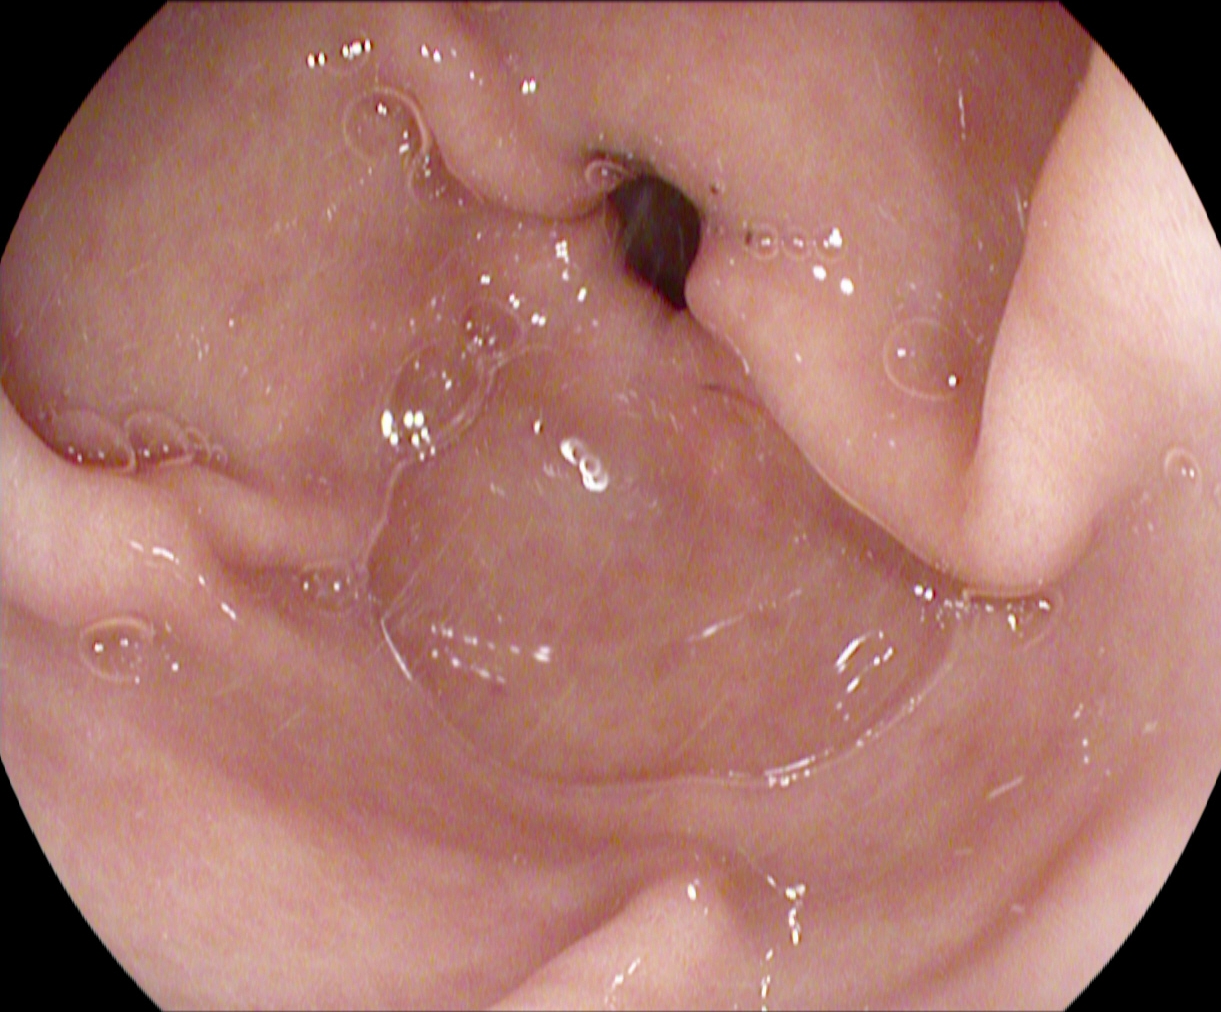Pylorus.